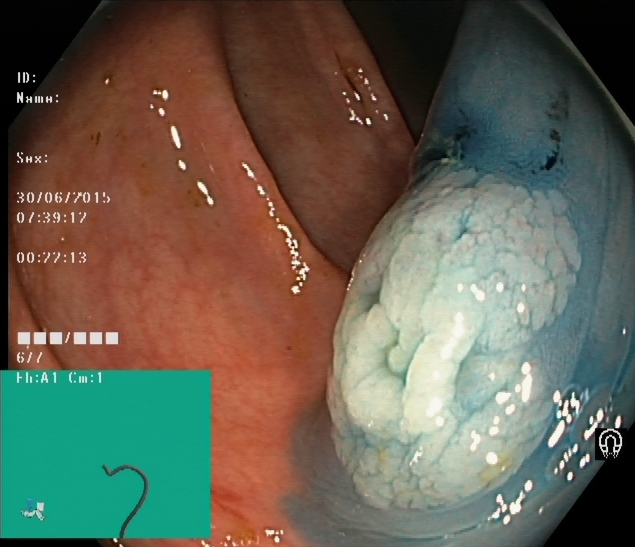Dyed and lifted polyp (pre-resection).